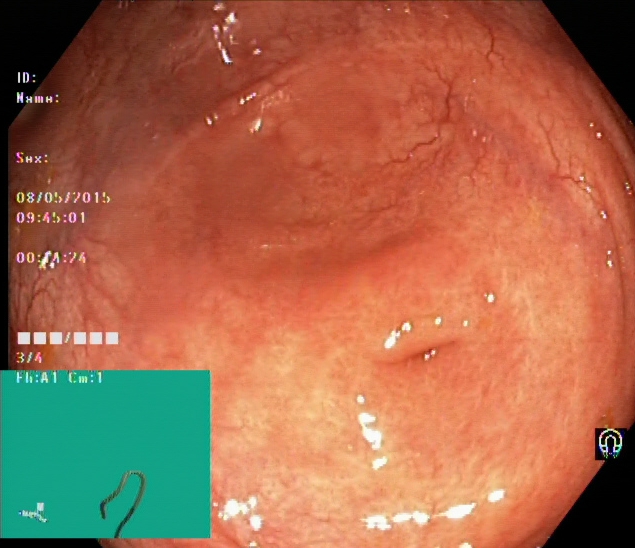cecum.